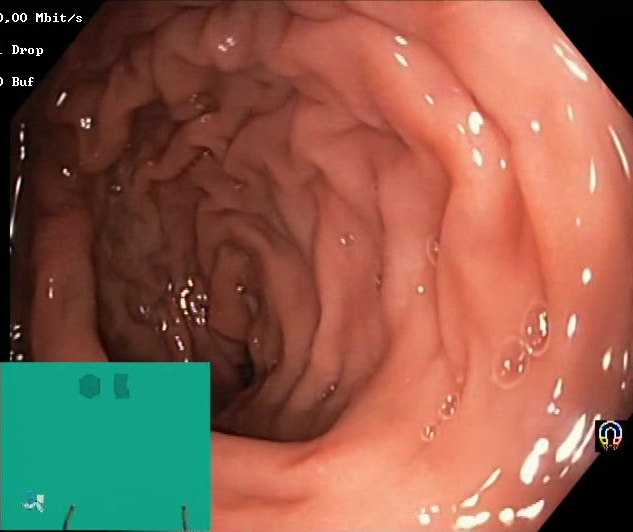GI endoscopy image of the lower GI tract showing BBPS score 2–3 (adequate preparation).